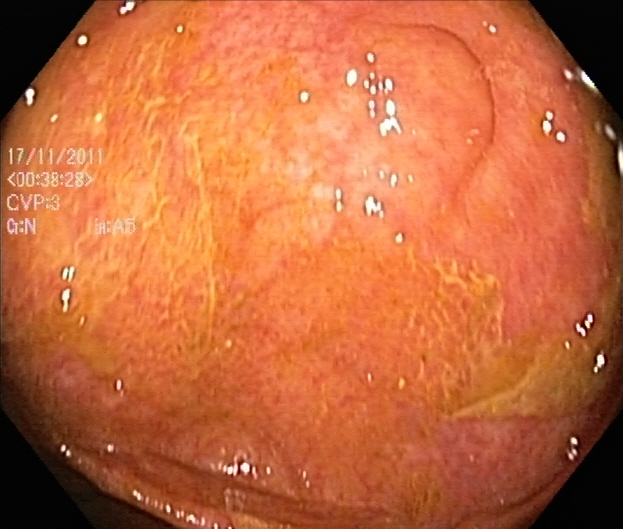Colonoscopy image showing cecum.